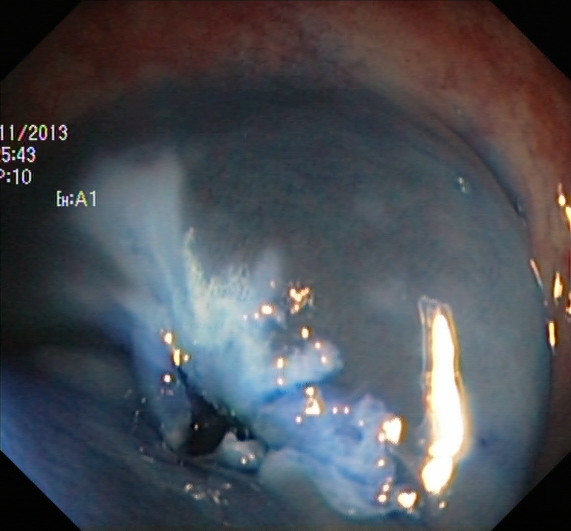Endoscopic image showing dyed resection margins (post-polypectomy).